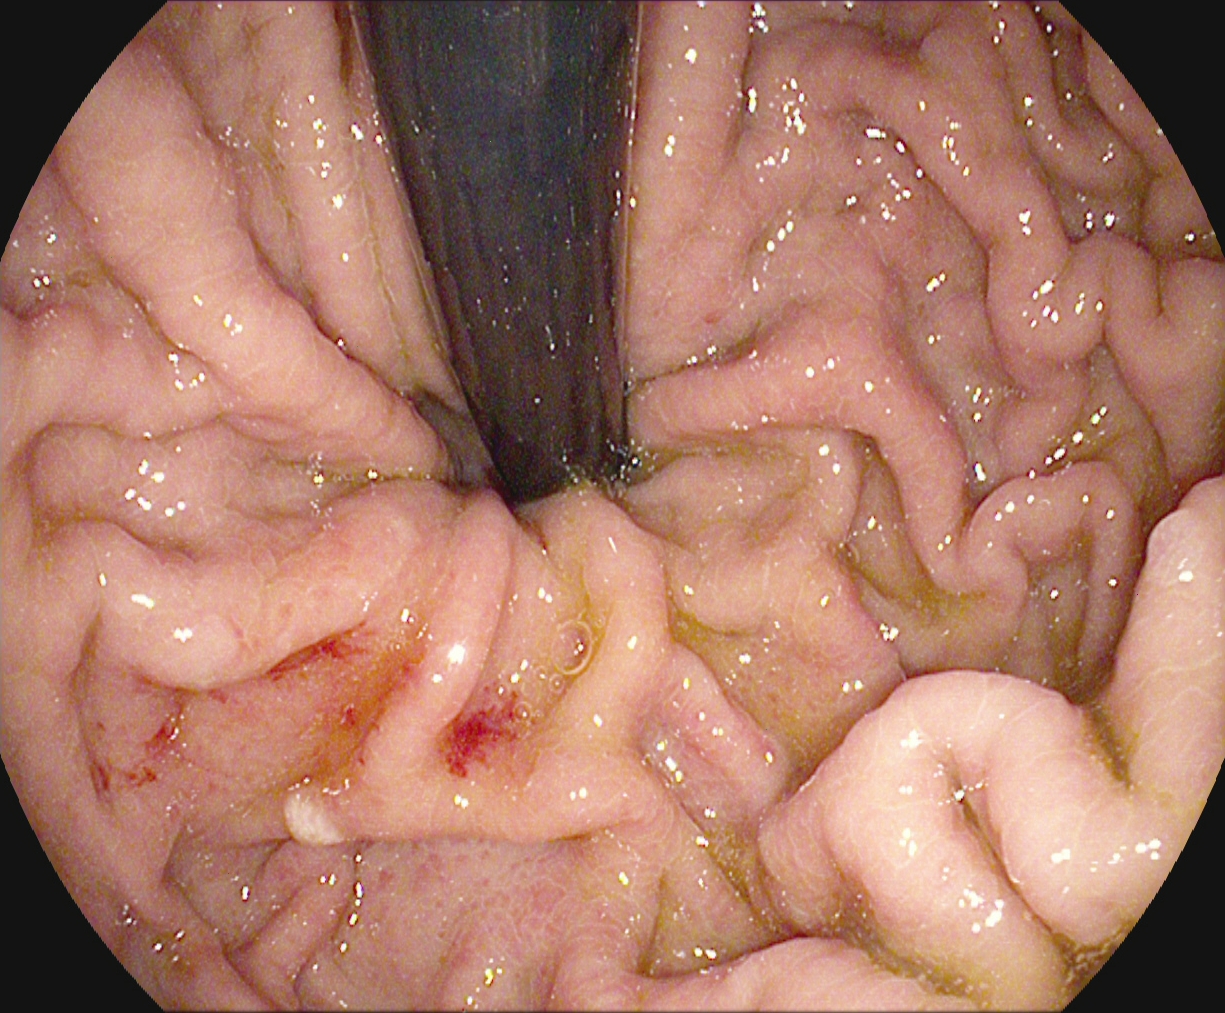EGD. Finding: stomach in retroflexion.